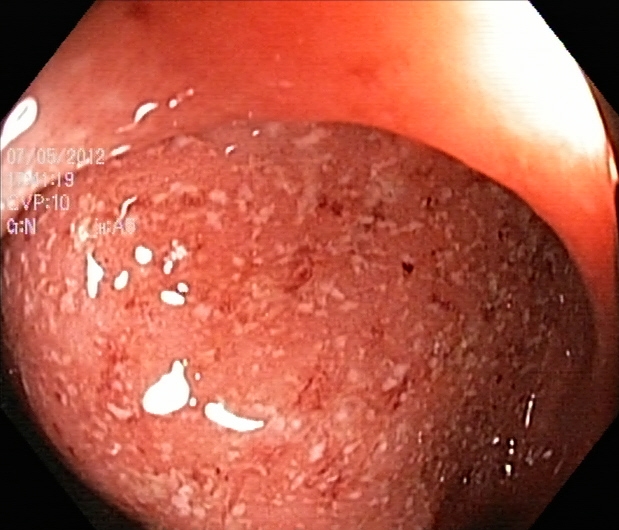Ulcerative colitis, Mayo endoscopic subscore 2.